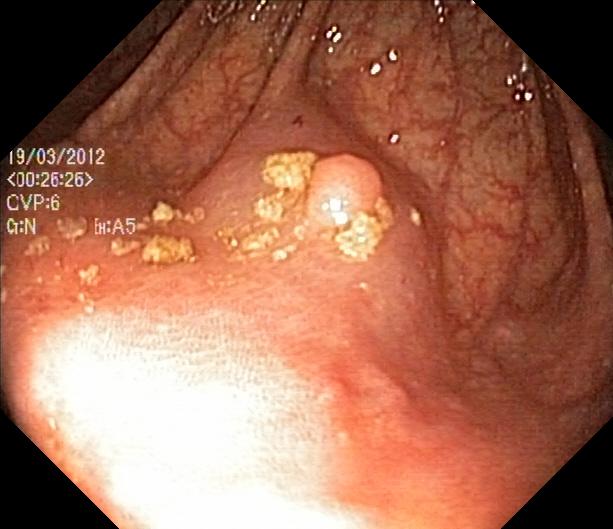{"modality": "lower-GI endoscopy", "finding": "colorectal polyp(s)"}